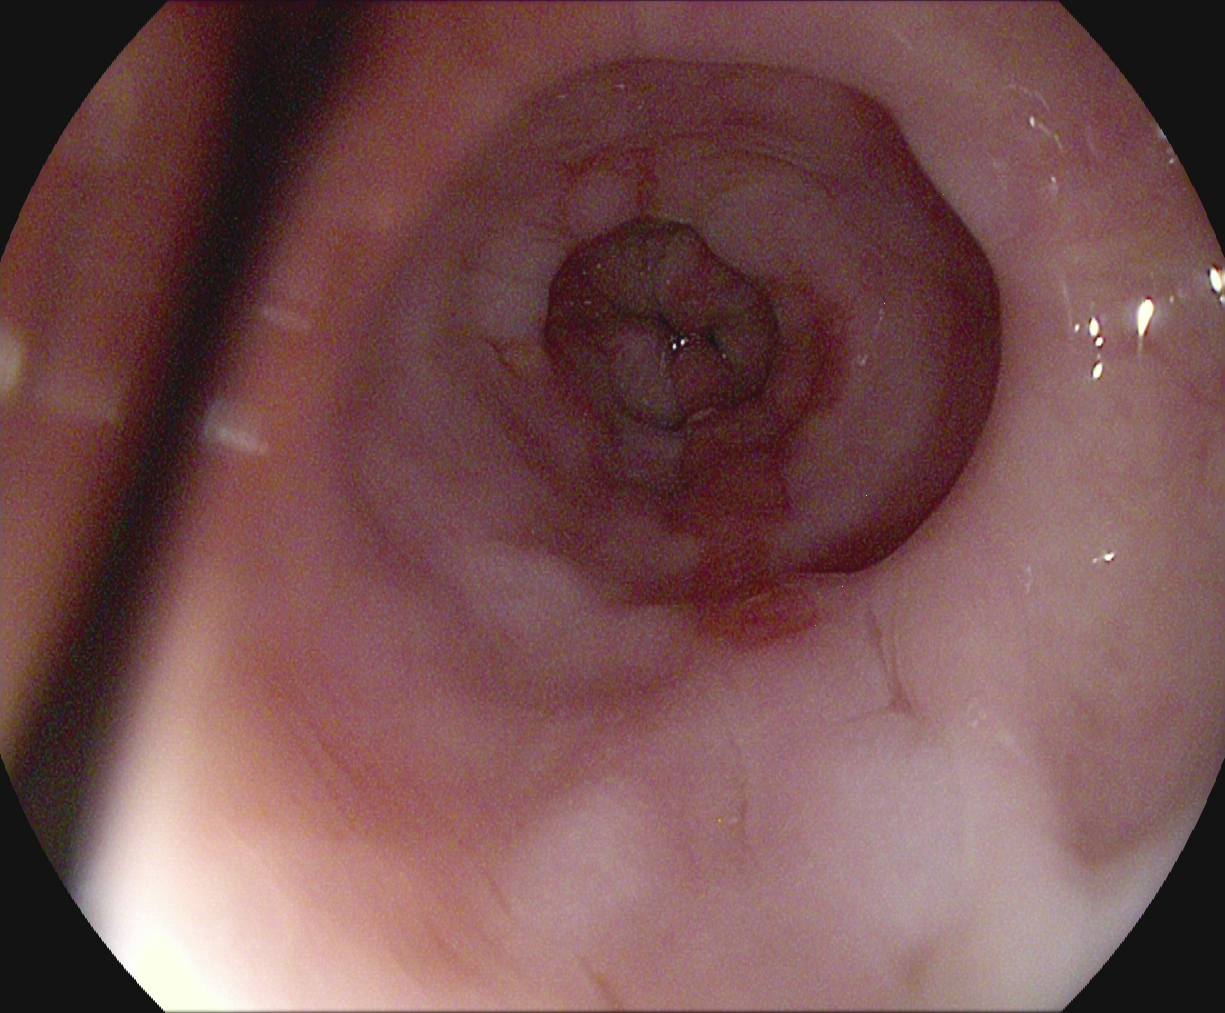Barrett's esophagus, short segment.